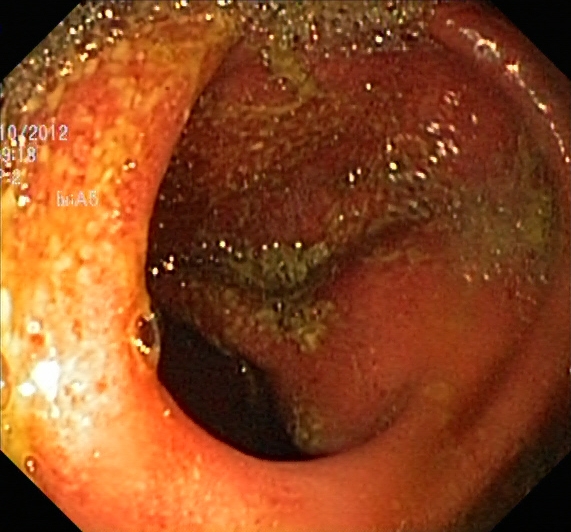PROCEDURE: Lower gastrointestinal endoscopy.
CATEGORY: Pathological finding.
FINDINGS: Ulcerative colitis, Mayo endoscopic subscore 2.